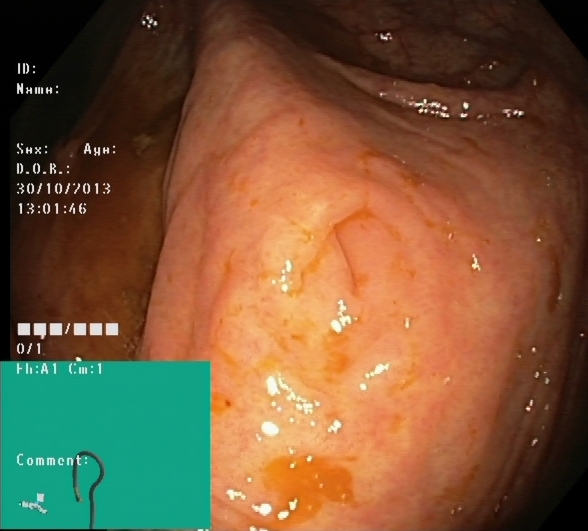{"modality": "lower gastrointestinal endoscopy", "finding": "cecum"}